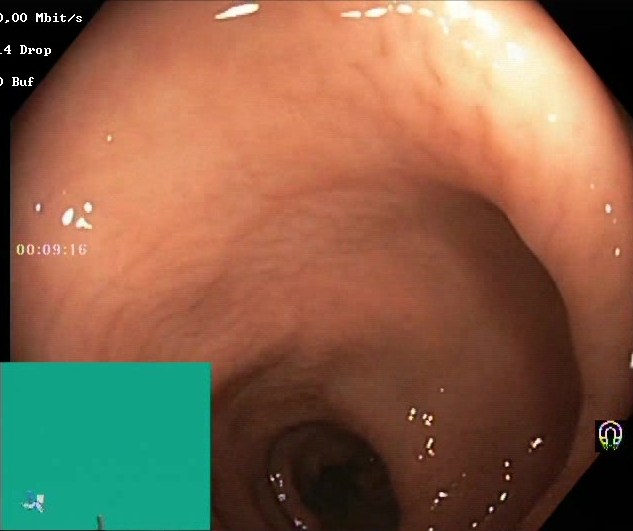Lower-GI endoscopy — Boston Bowel Preparation Scale score 2–3 (adequate preparation).